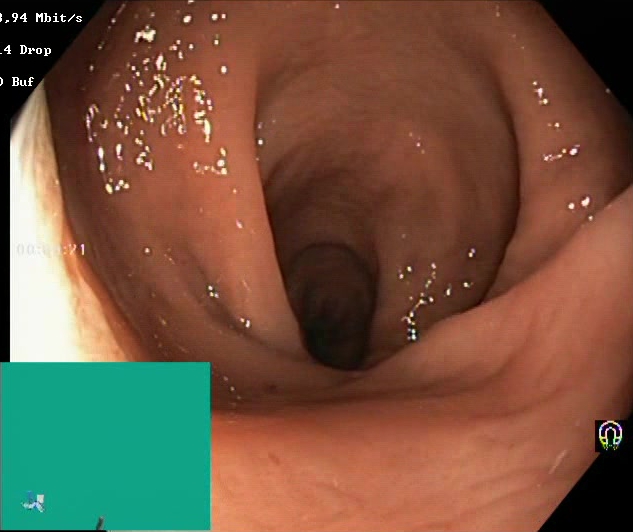Lower gastrointestinal endoscopy — BBPS score 2–3 (adequate preparation).